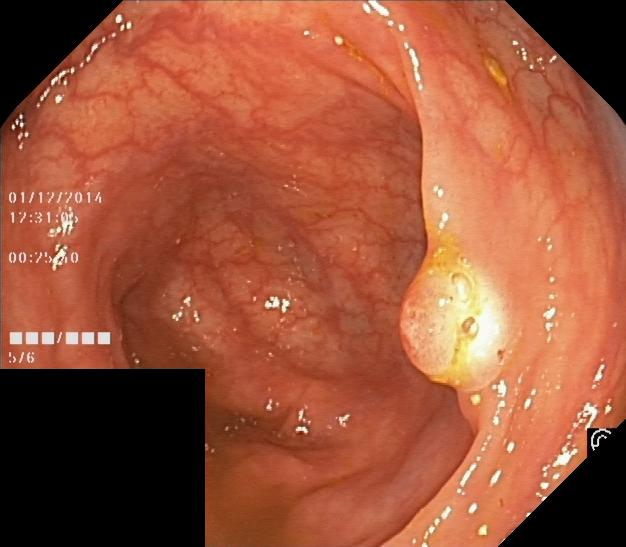{"modality": "lower-GI endoscopy", "tract": "lower GI tract", "finding": "colorectal polyp(s)"}